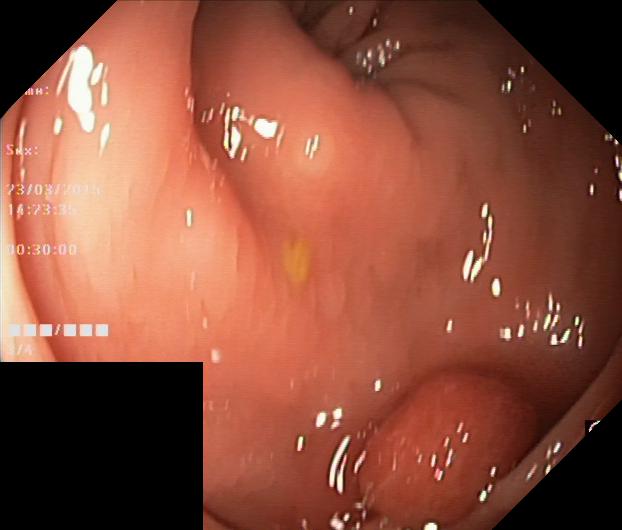{"modality": "lower-GI endoscopy", "finding": "colorectal polyp(s)"}